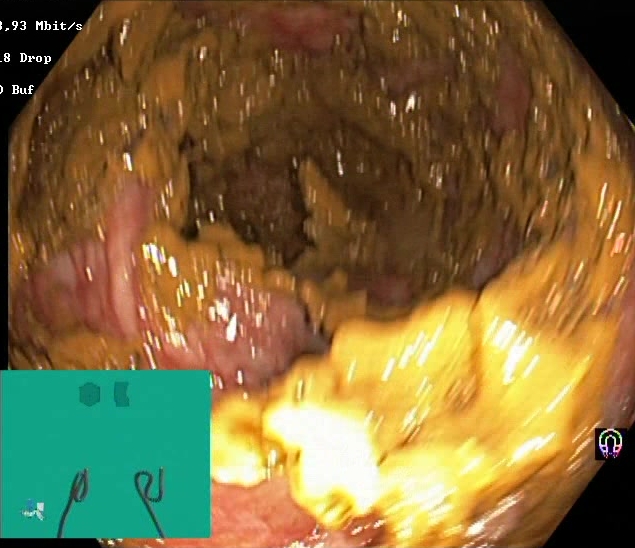{"modality": "lower gastrointestinal endoscopy", "finding": "Boston Bowel Preparation Scale score 0\u20131 (inadequate preparation)"}